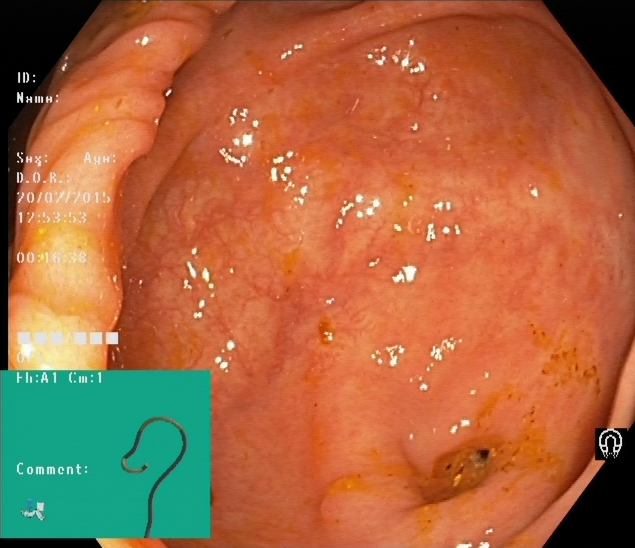PROCEDURE: Lower gastrointestinal endoscopy.
FINDINGS: Cecum.